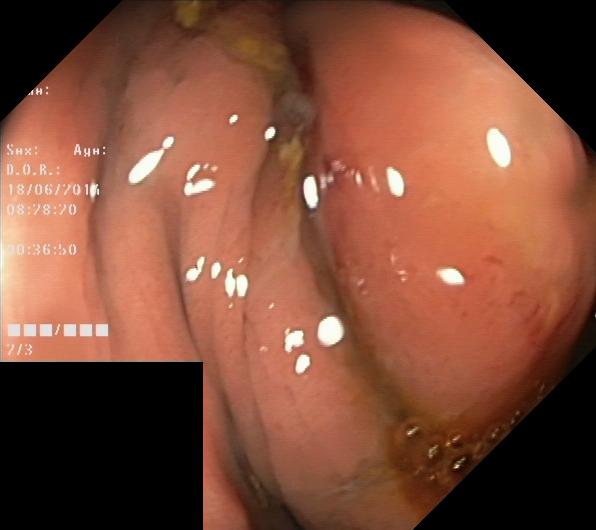modality: lower gastrointestinal endoscopy
tract: lower GI tract
finding: colorectal polyp(s)